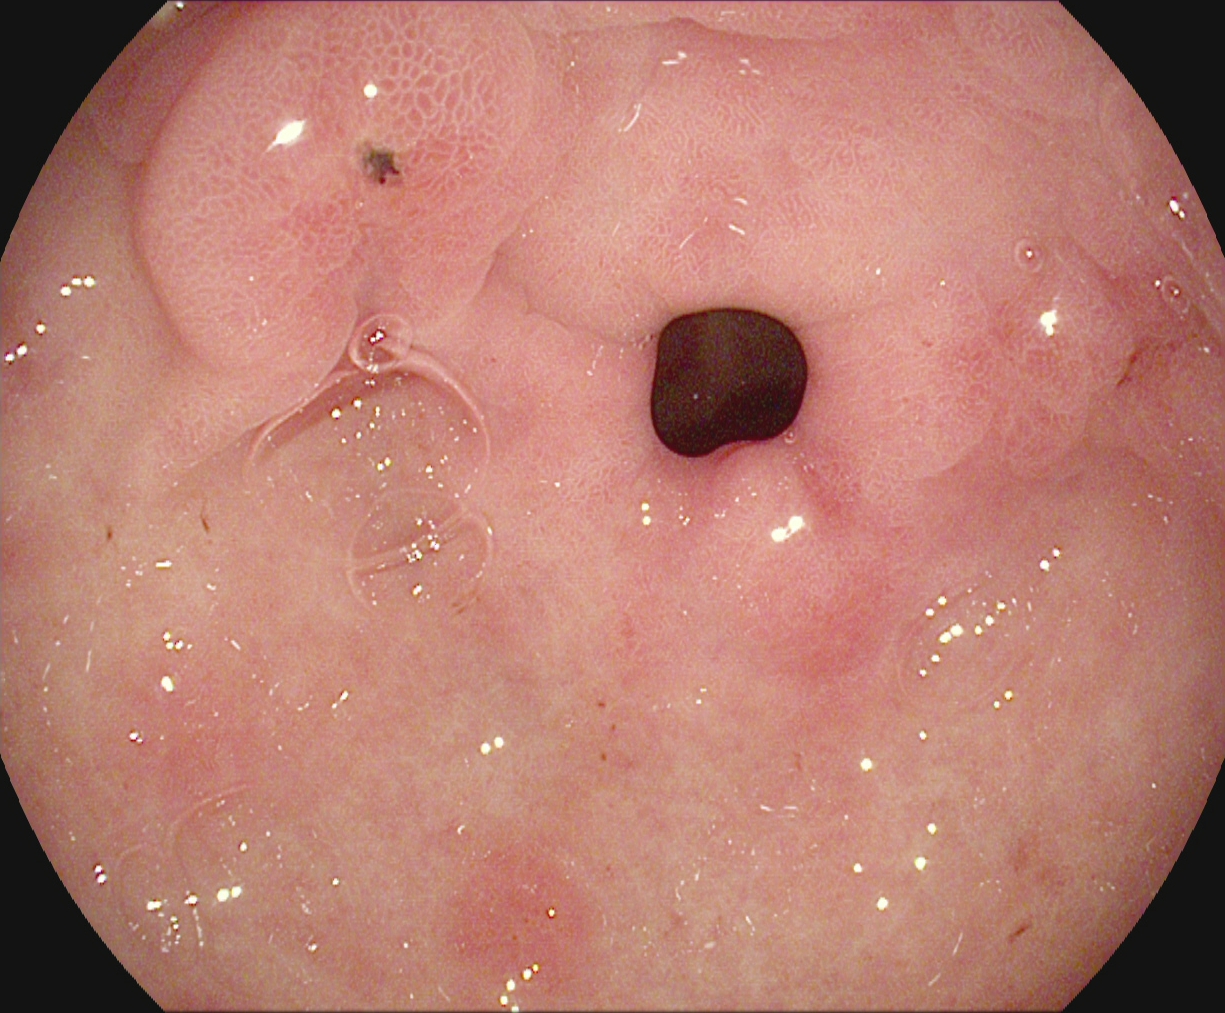GI endoscopy image of the upper GI tract showing pylorus.